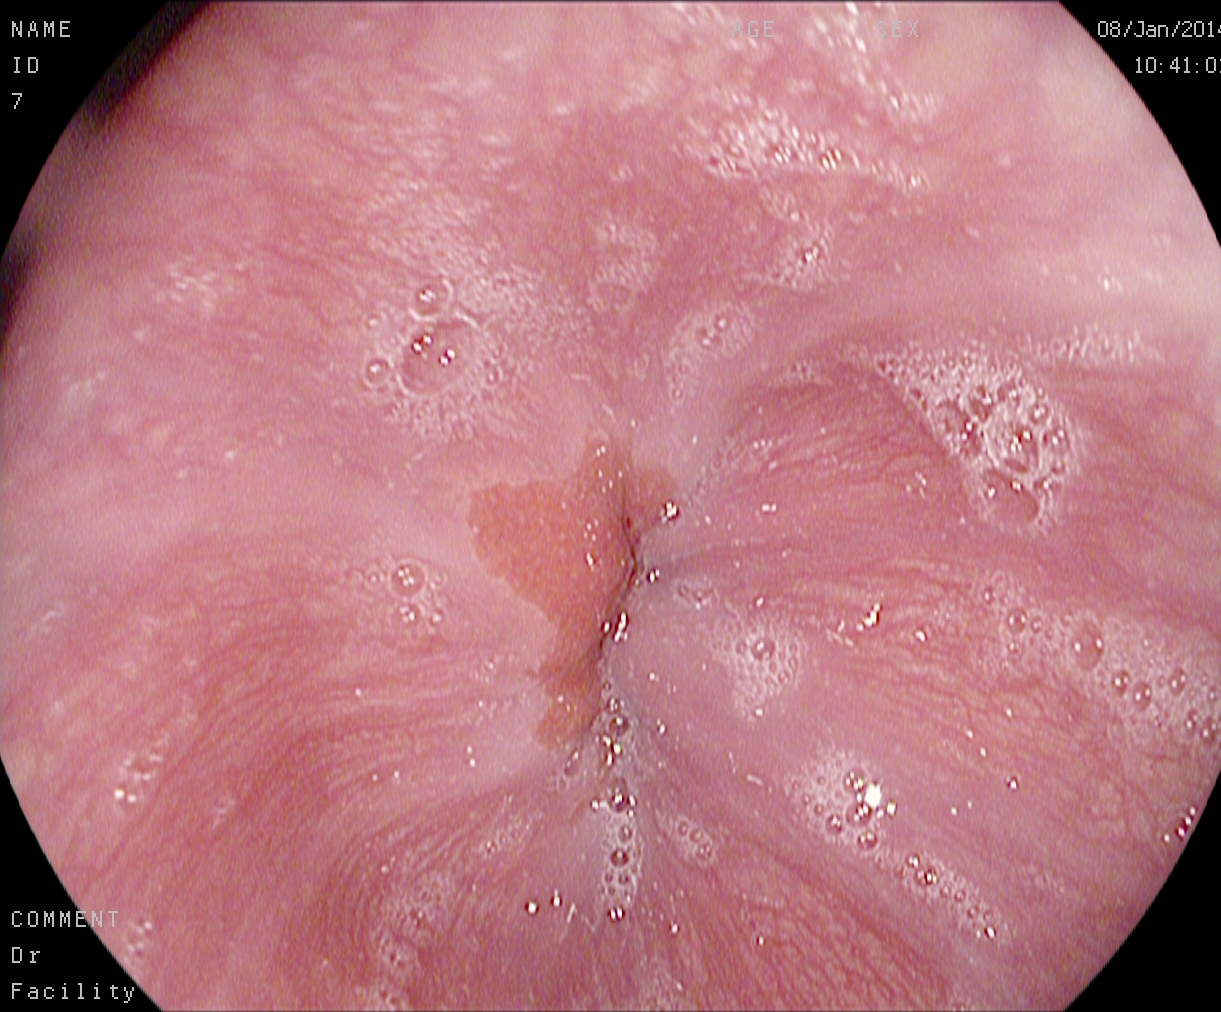Esophagogastroduodenoscopy. Anatomical landmark. Finding: Z-line (gastroesophageal junction).